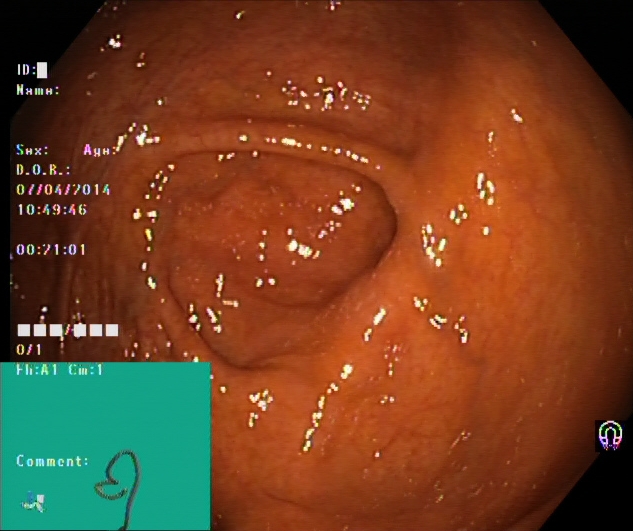Endoscopic image of the lower GI tract showing cecum.